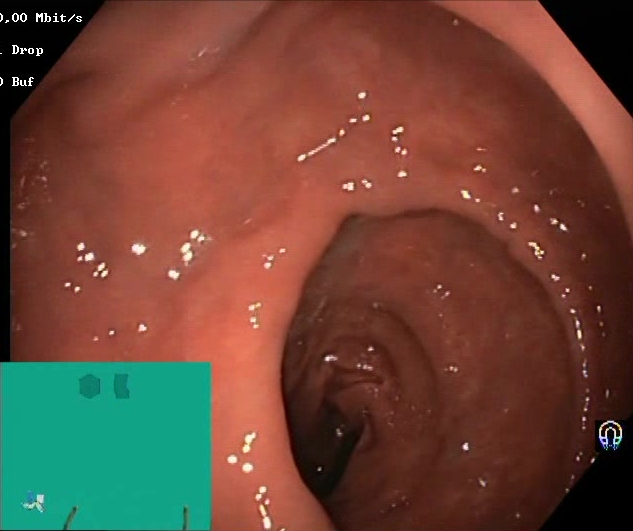{"modality": "lower gastrointestinal endoscopy", "finding": "Boston Bowel Preparation Scale score 2\u20133 (adequate preparation)"}